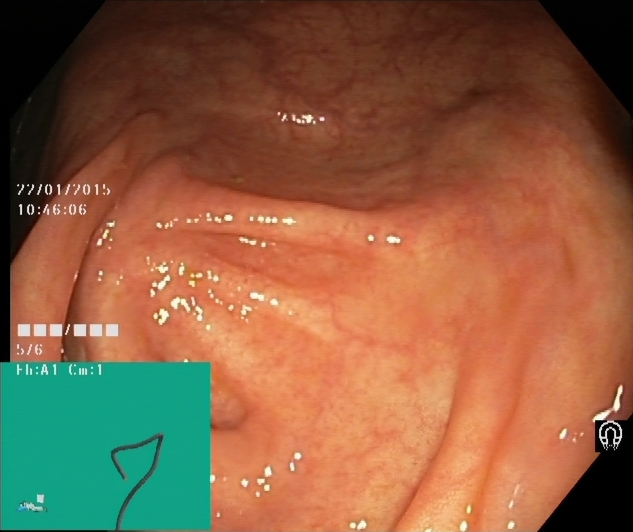{"modality": "colonoscopy", "tract": "lower GI tract", "category": "anatomical landmark", "finding": "cecum"}